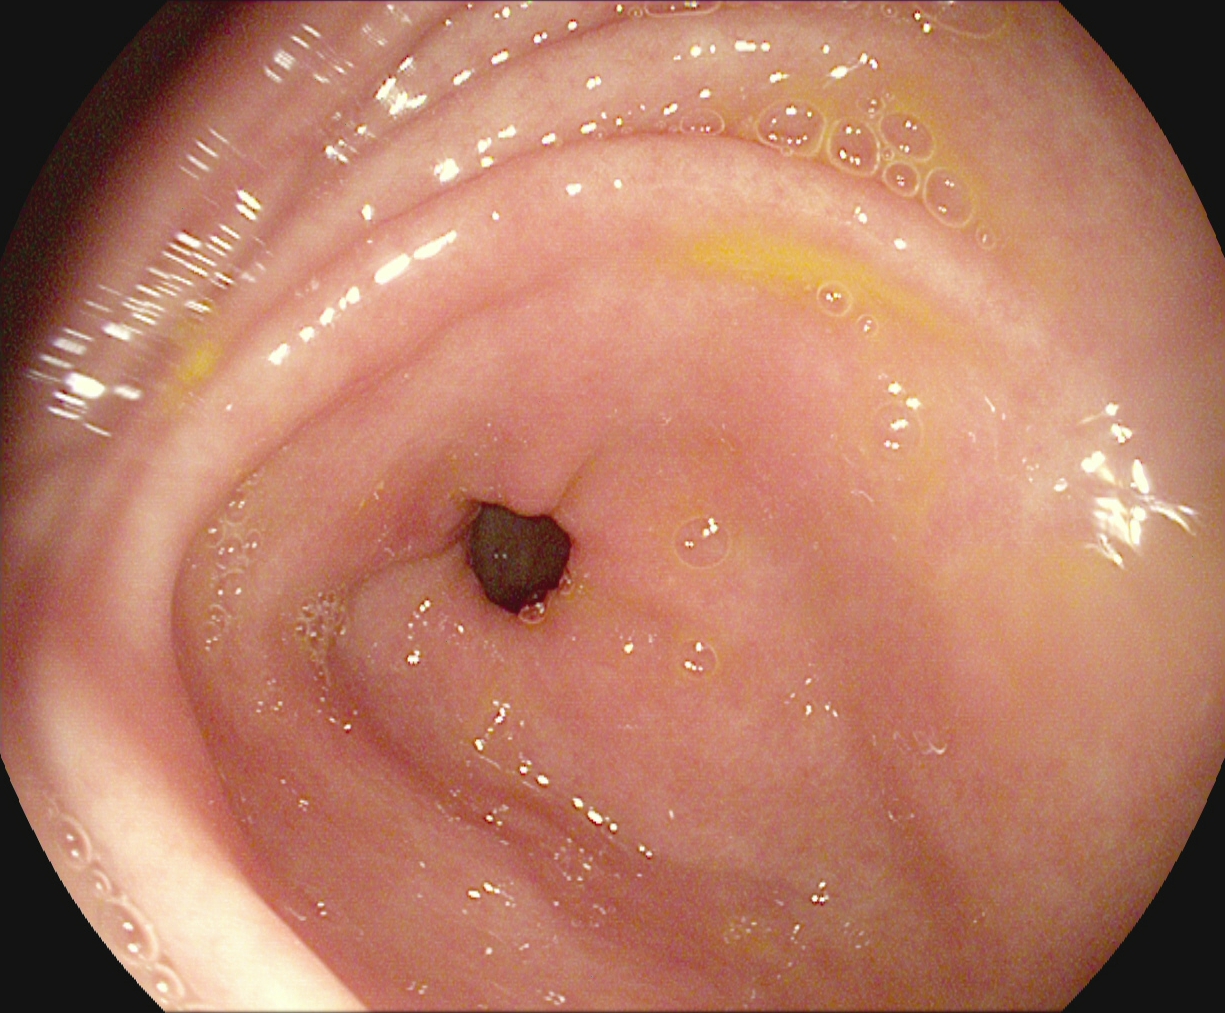{"modality": "upper-GI endoscopy", "category": "anatomical landmark", "finding": "pylorus"}